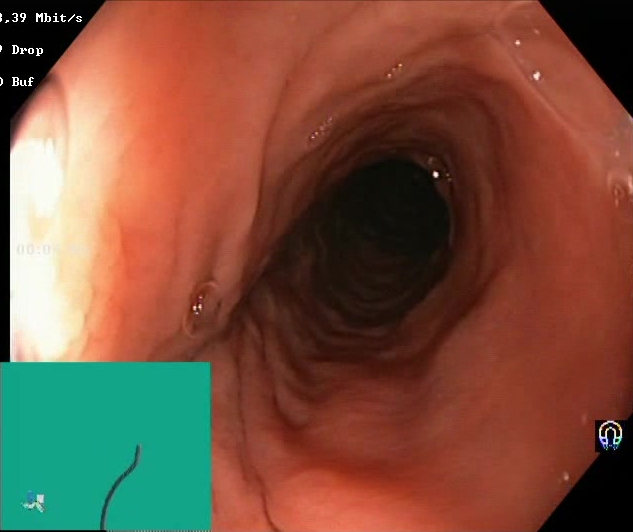Endoscopy image of the lower GI tract showing BBPS score 2–3 (adequate preparation).